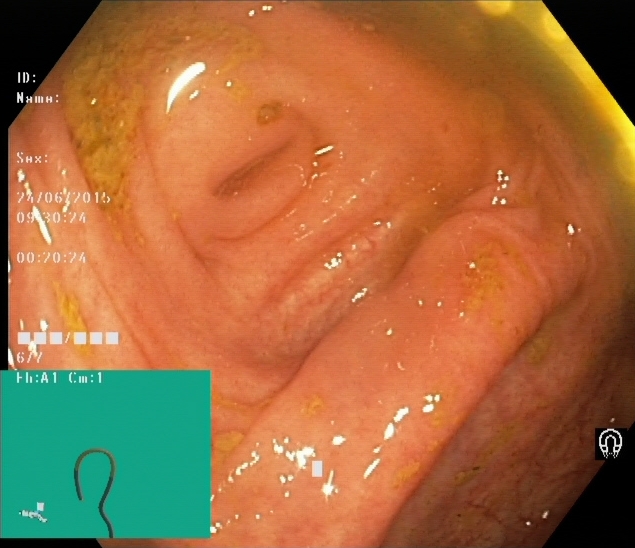Lower gastrointestinal endoscopy. Tract: lower GI tract. Anatomical landmark. Finding: cecum.